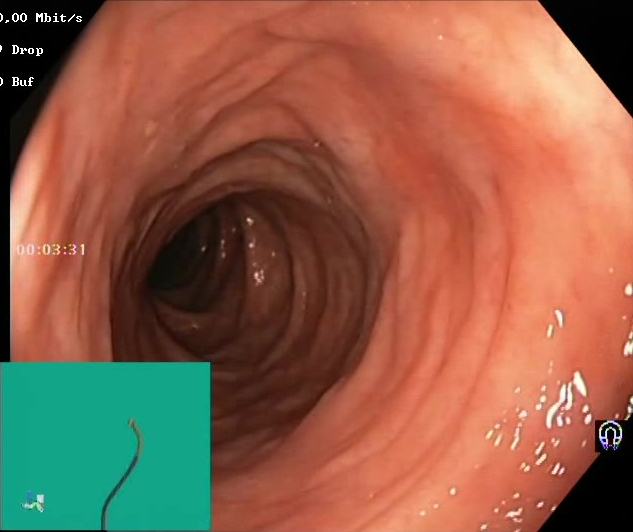Lower-GI endoscopy. Tract: lower GI tract. Mucosal-view quality. Finding: Boston Bowel Preparation Scale score 2–3 (adequate preparation).